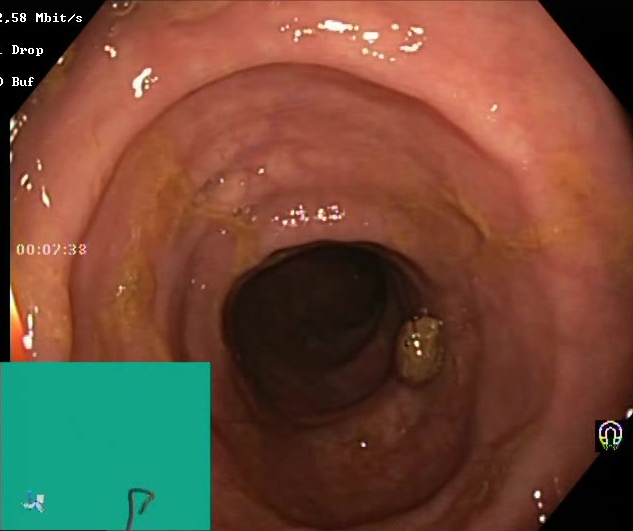Boston Bowel Preparation Scale score 2–3 (adequate preparation).